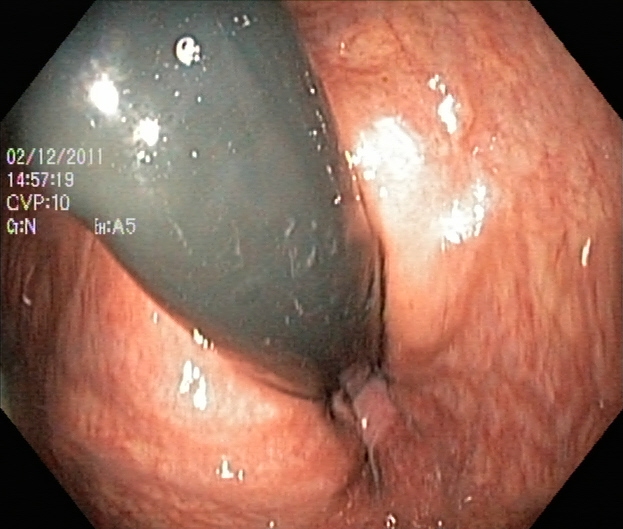{"modality": "lower gastrointestinal endoscopy", "tract": "lower GI tract", "finding": "rectum in retroflexion"}